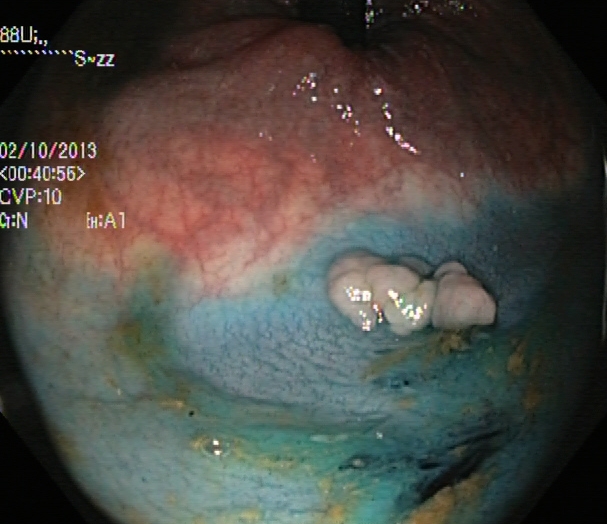modality: lower gastrointestinal endoscopy
tract: lower GI tract
finding: dyed and lifted polyp (pre-resection)